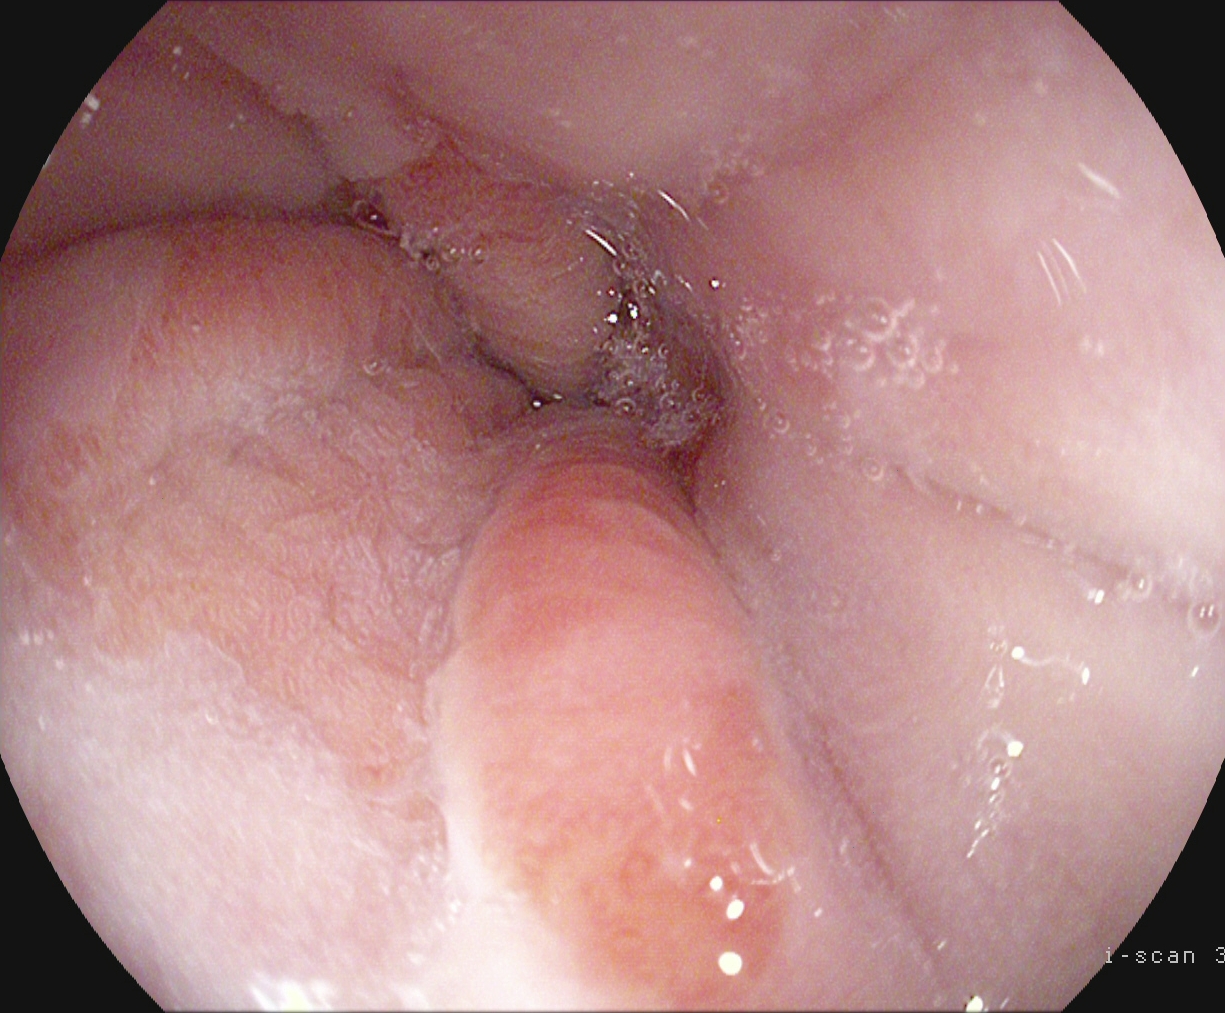PROCEDURE: Gastroscopy.
FINDINGS: Z-line (gastroesophageal junction).